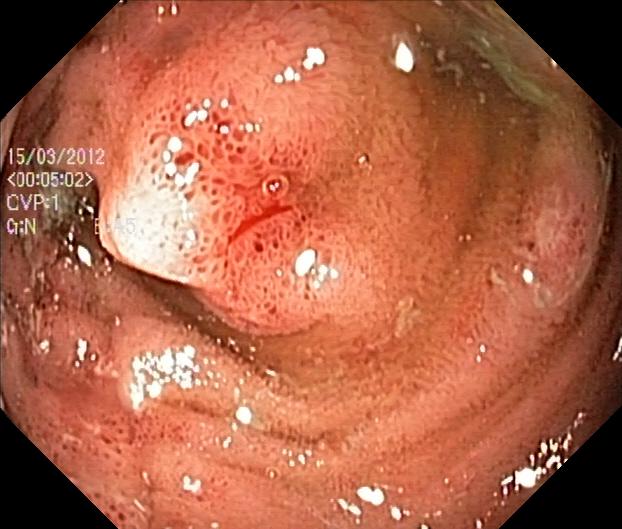Colonoscopy — colorectal polyp(s).